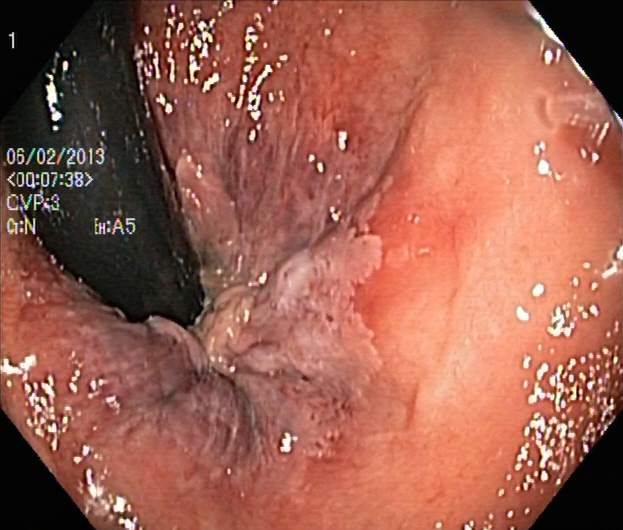Endoscopy image of the lower GI tract showing rectum in retroflexion.